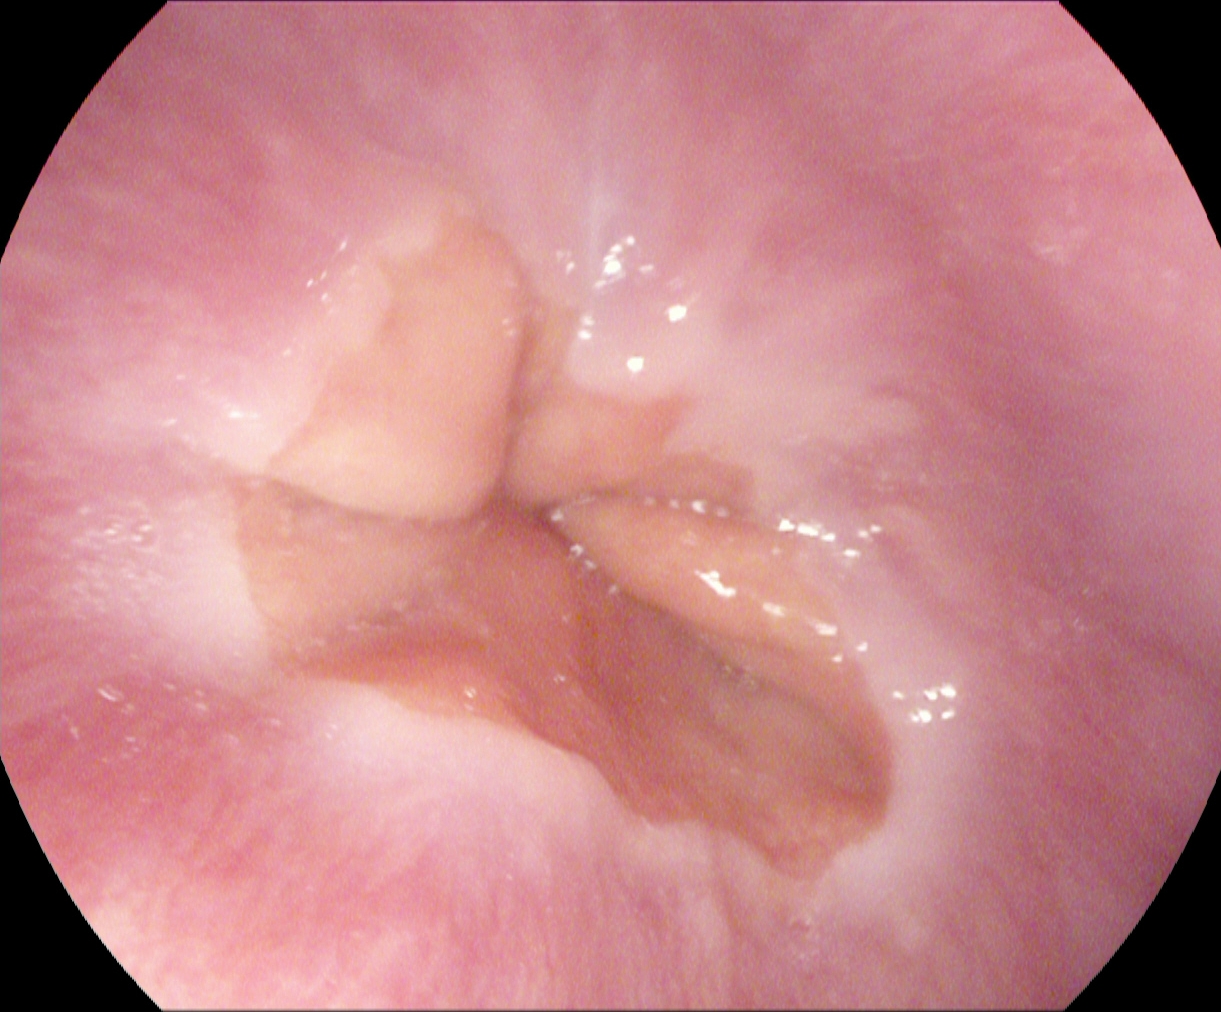This endoscopic image shows Z-line (gastroesophageal junction).